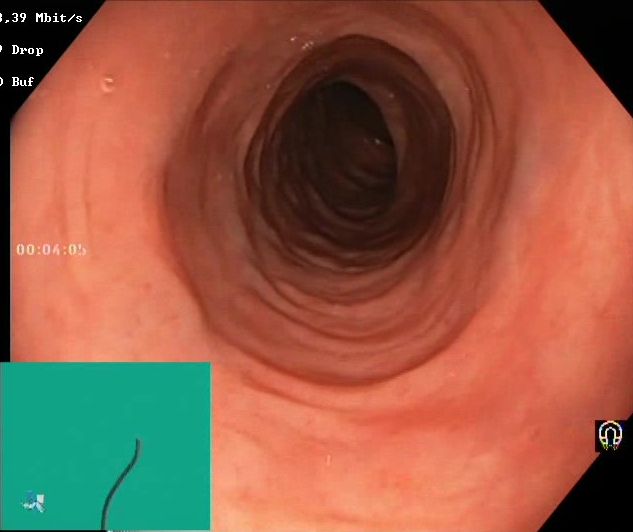{"modality": "lower-GI endoscopy", "tract": "lower GI tract", "category": "mucosal-view quality", "finding": "BBPS score 2\u20133 (adequate preparation)"}